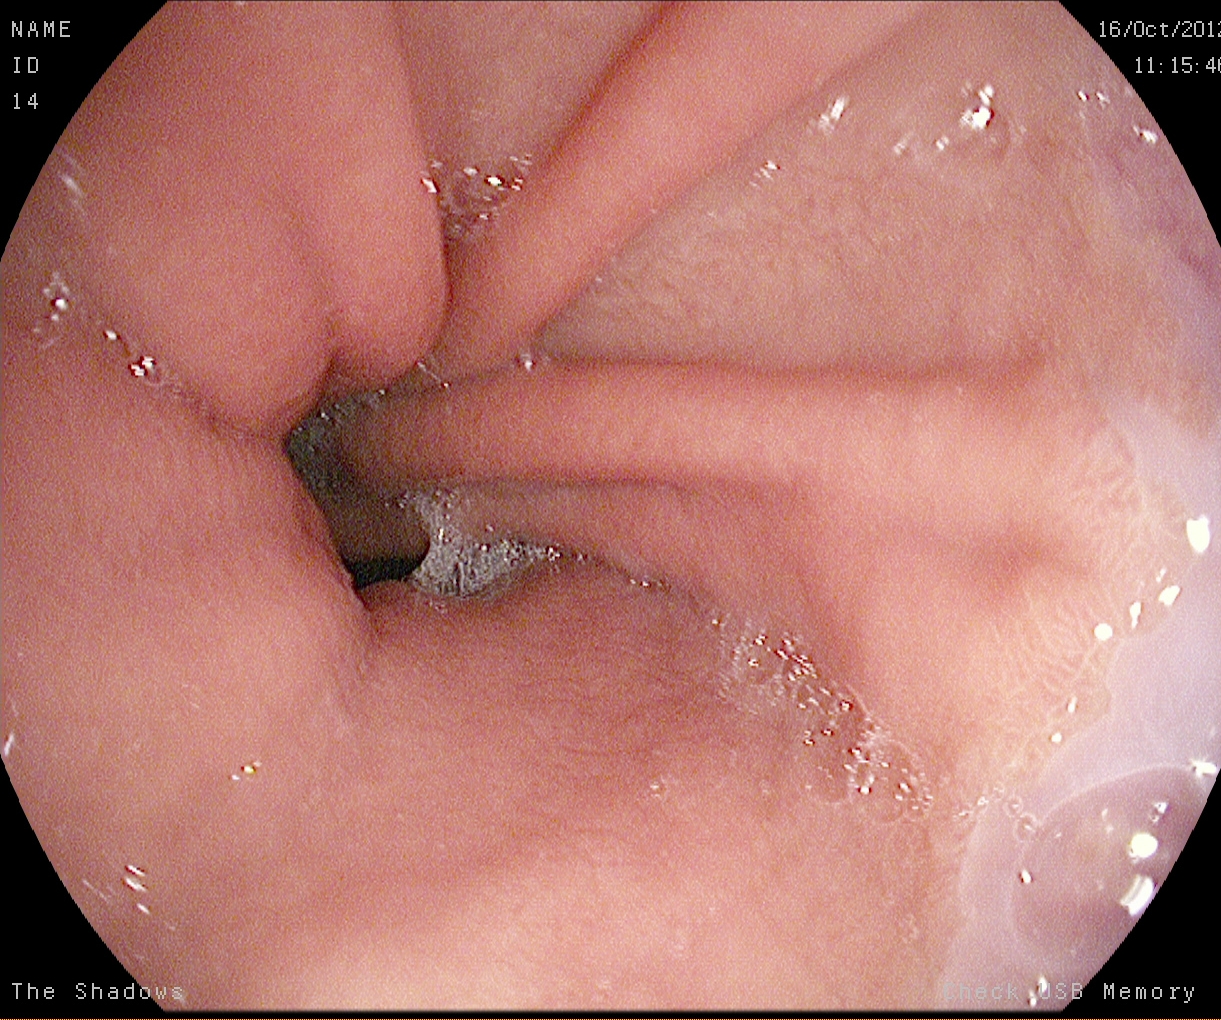modality: gastroscopy | finding: Z-line (gastroesophageal junction)